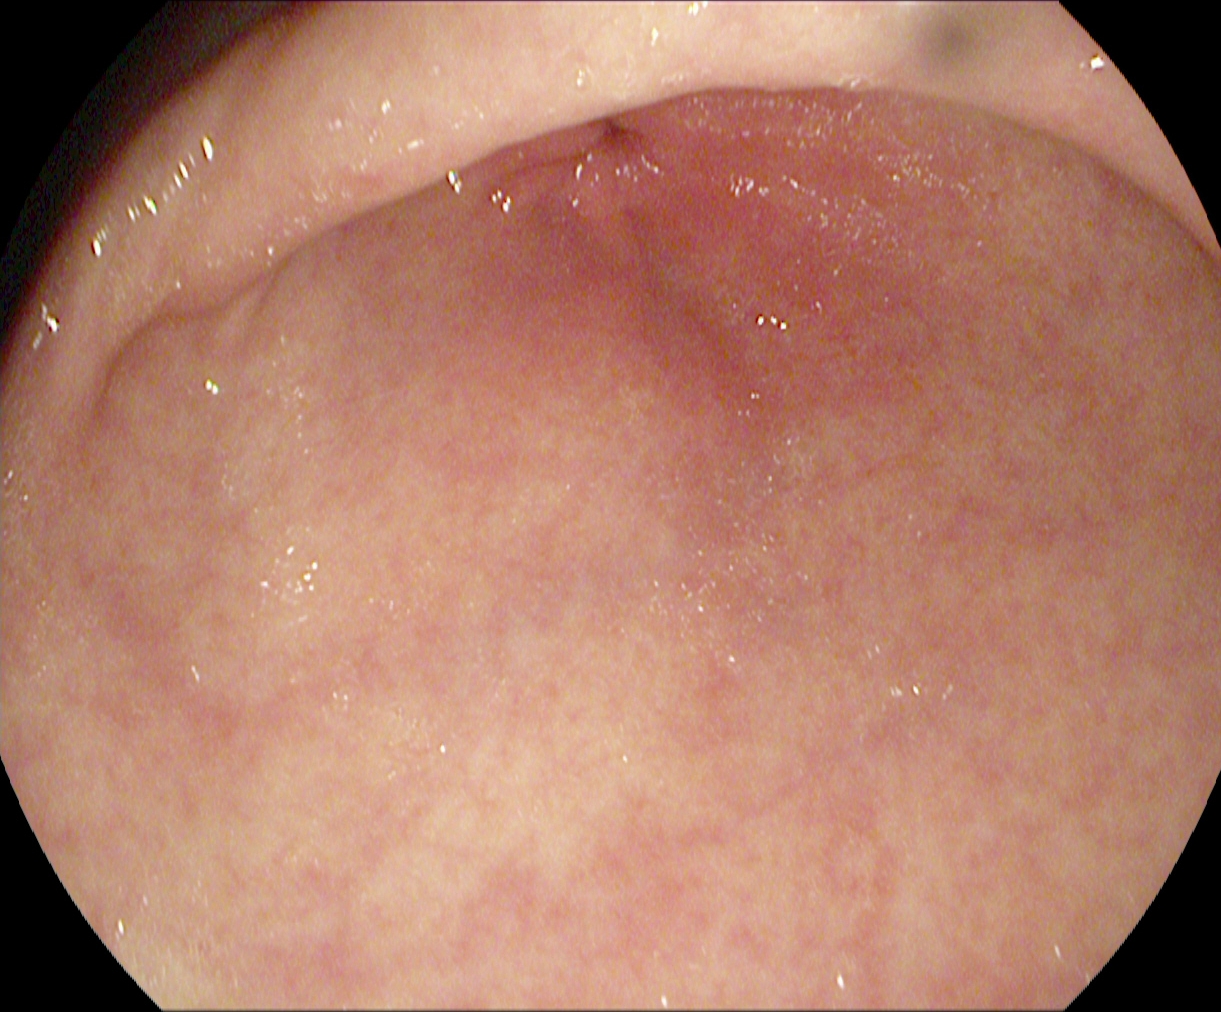Gastrointestinal endoscopy image showing pylorus.